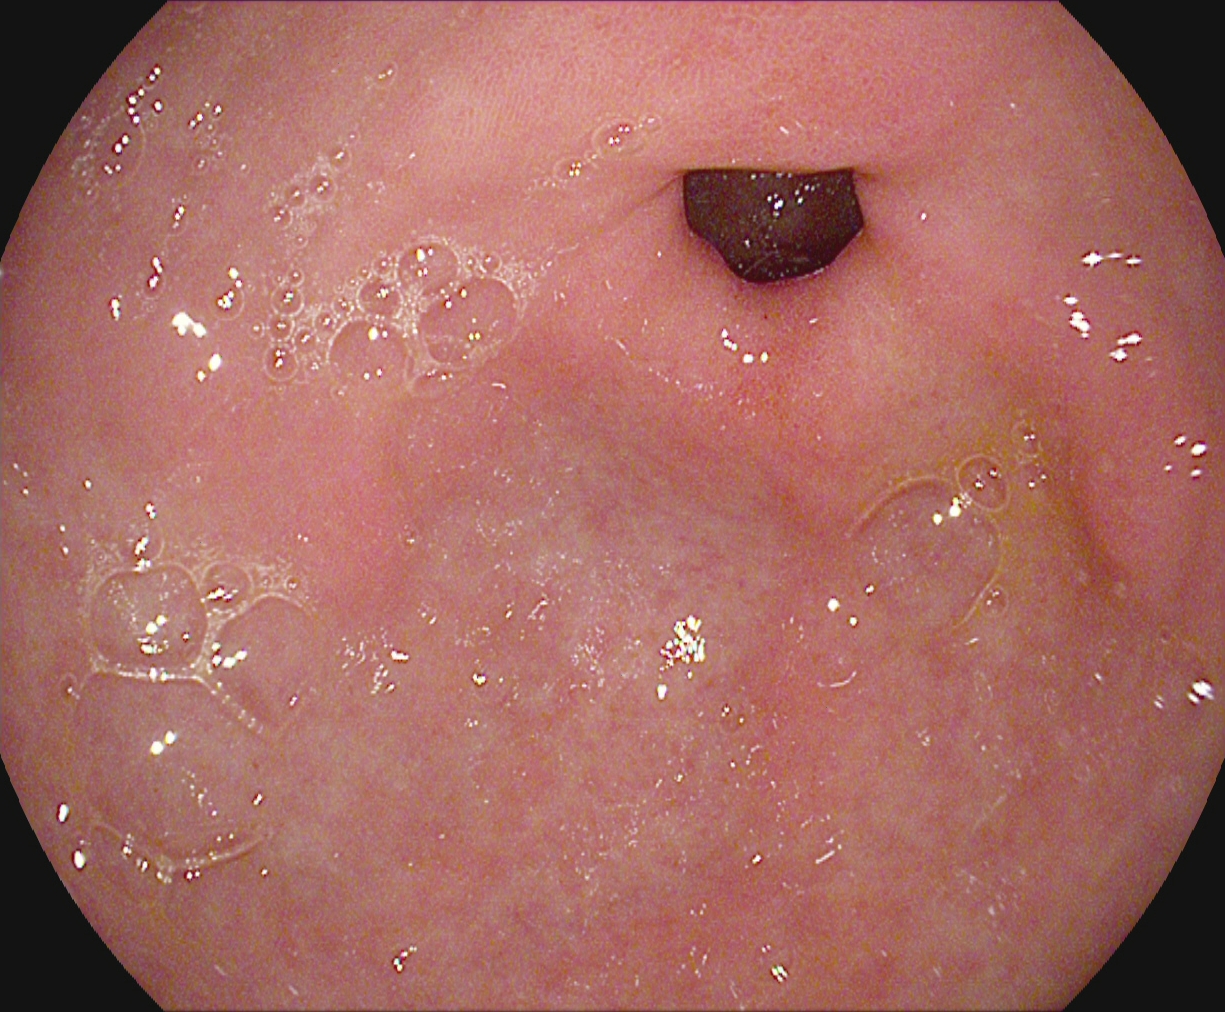Endoscopic image of the upper GI tract showing pylorus.